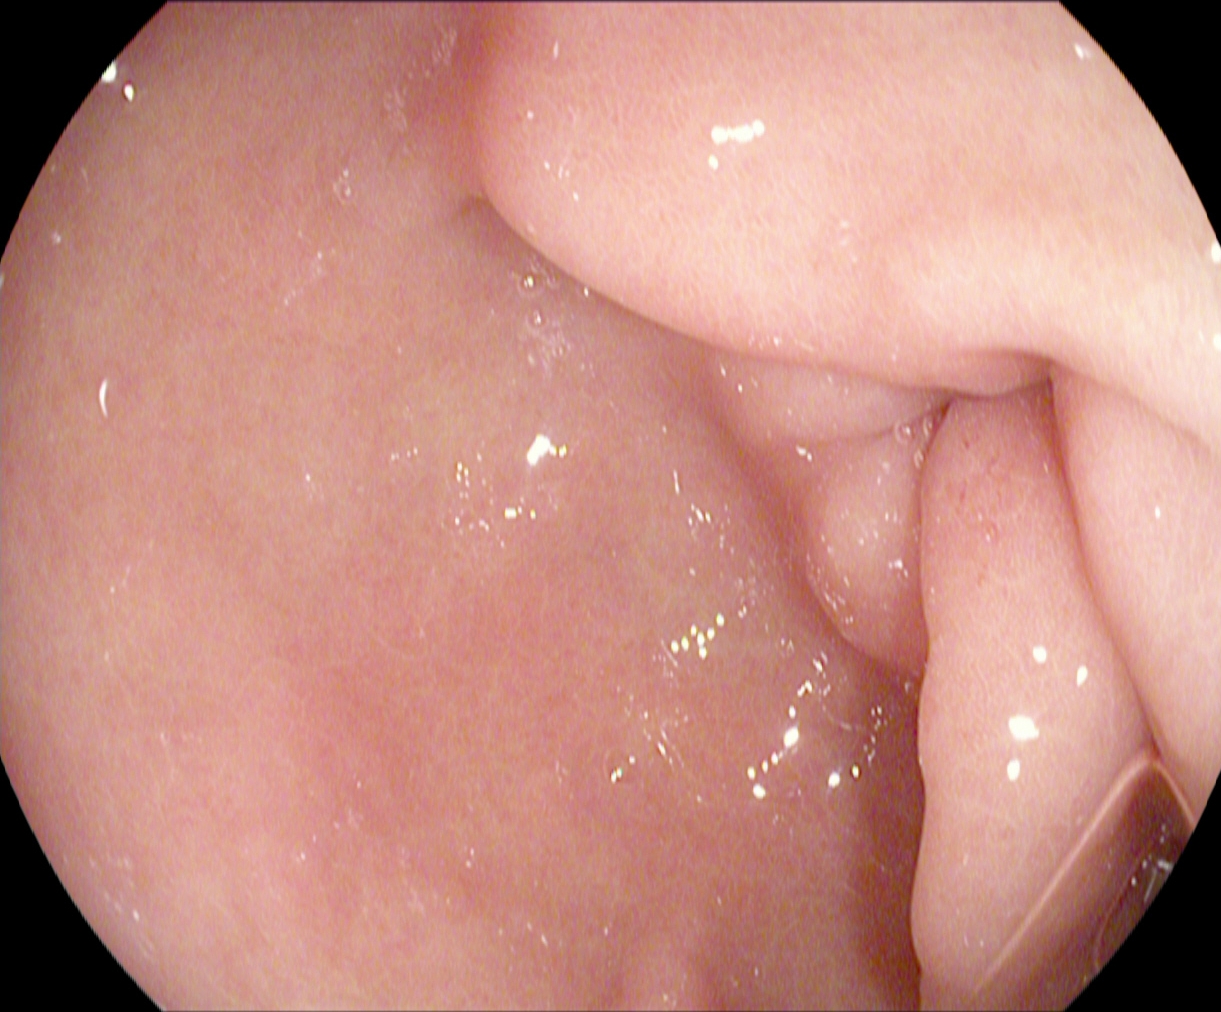This endoscopic image of the upper GI tract shows pylorus.